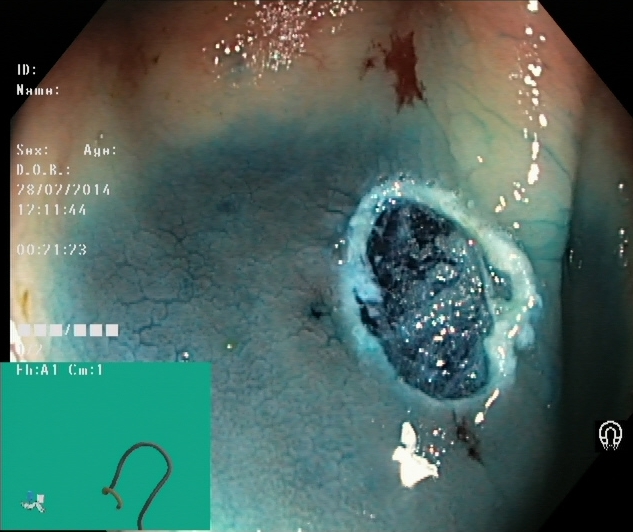Dyed resection margins (post-polypectomy).